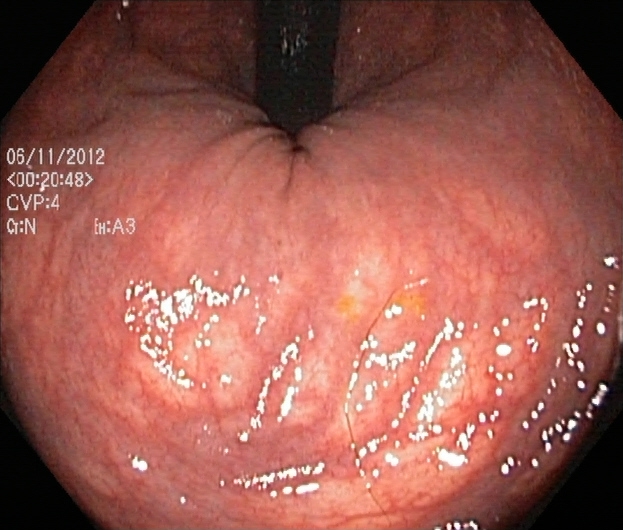Lower-GI endoscopy. Tract: lower GI tract. Finding: rectum in retroflexion.